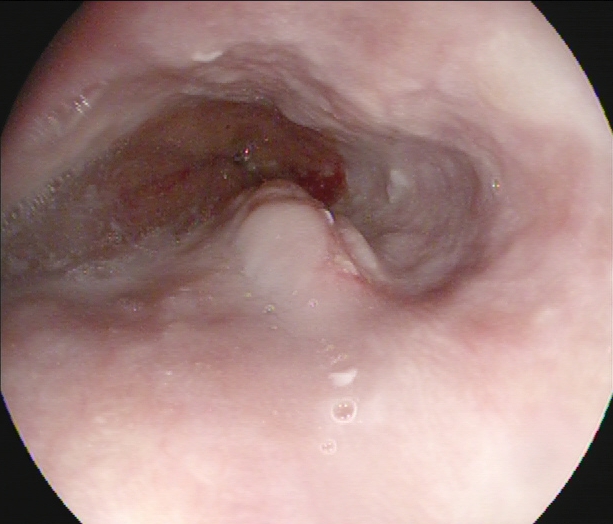This endoscopic image of the upper GI tract shows Z-line (gastroesophageal junction).